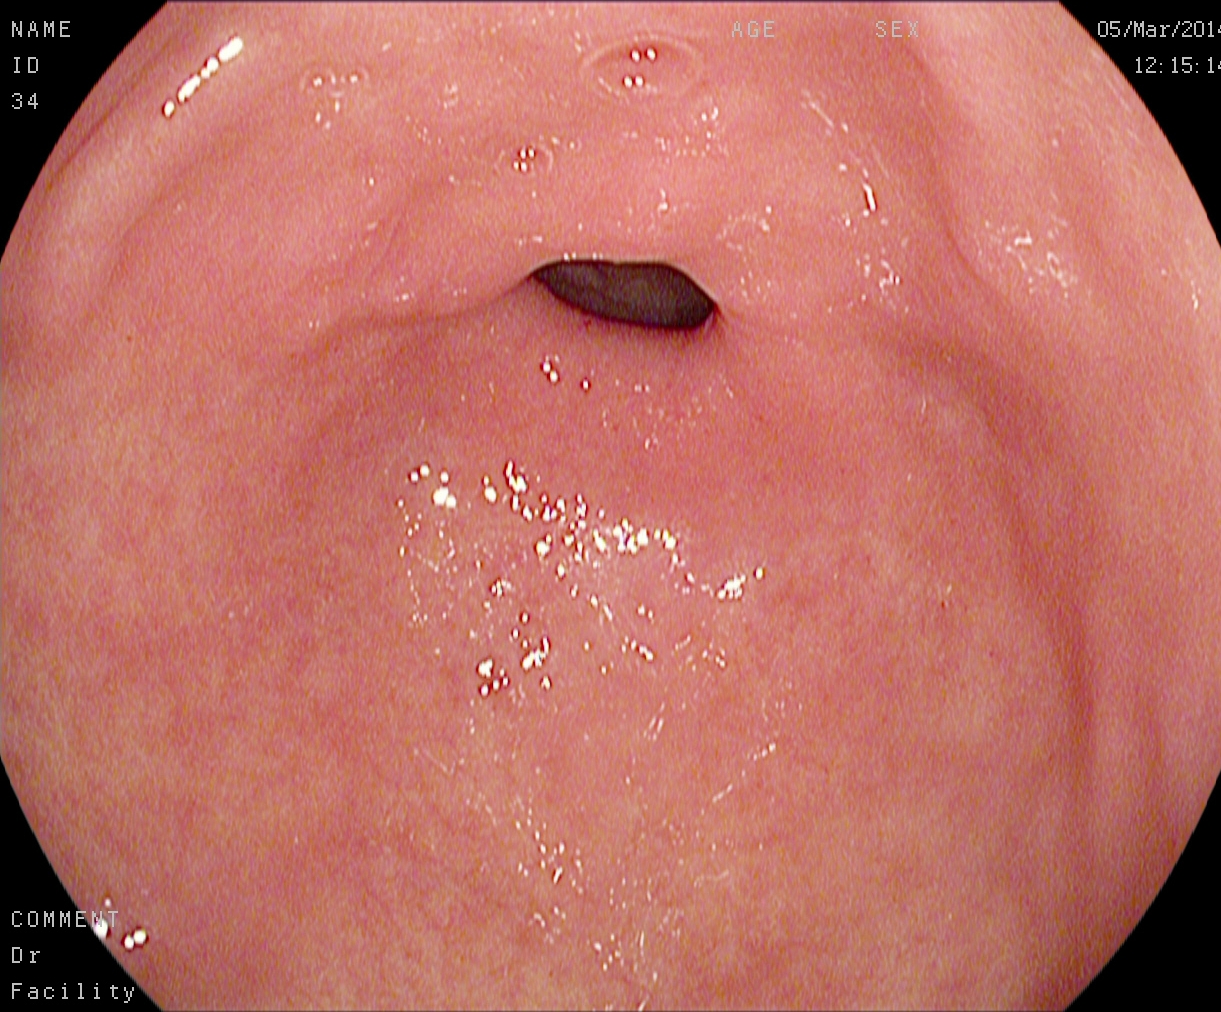Esophagogastroduodenoscopy — pylorus.